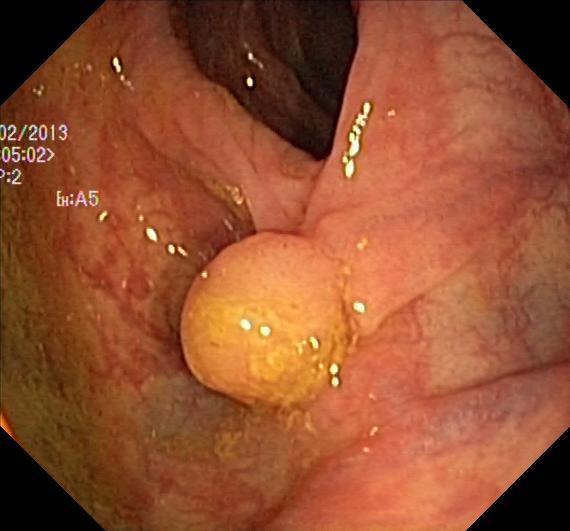PROCEDURE: Lower gastrointestinal endoscopy.
FINDINGS: Colorectal polyp(s).